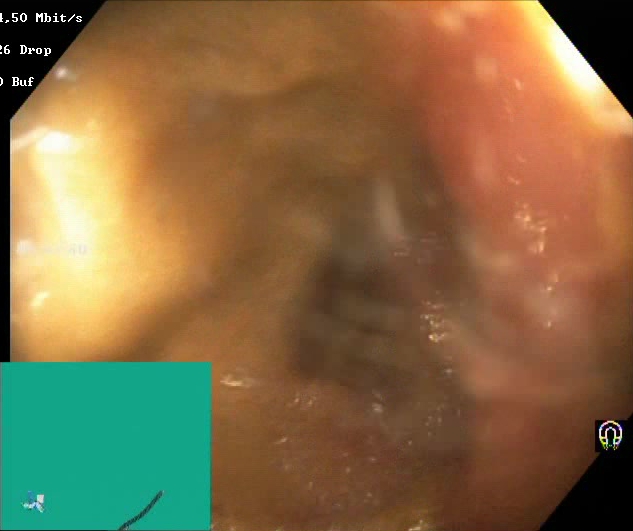{"modality": "lower-GI endoscopy", "tract": "lower GI tract", "finding": "Boston Bowel Preparation Scale score 0\u20131 (inadequate preparation)"}